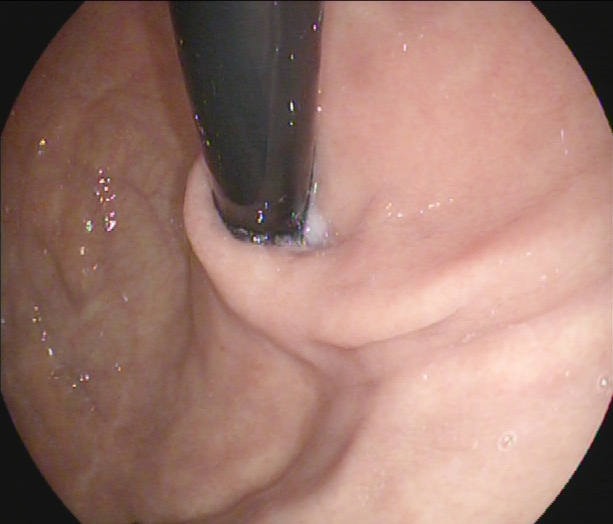modality: upper-GI endoscopy | tract: upper GI tract | finding: stomach in retroflexion